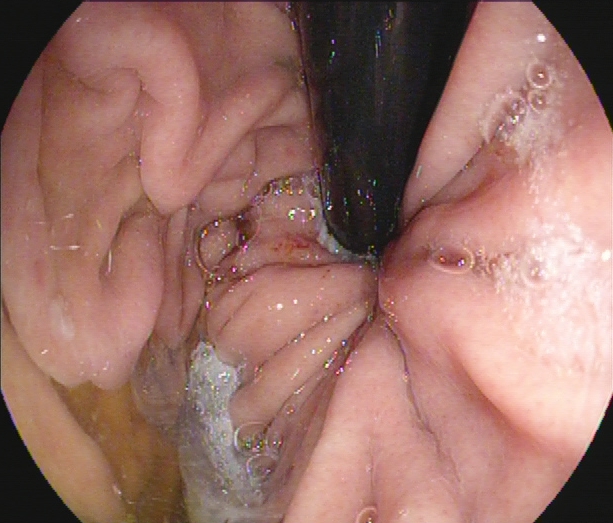Upper-GI endoscopy. Tract: upper GI tract. Anatomical landmark. Finding: stomach in retroflexion.